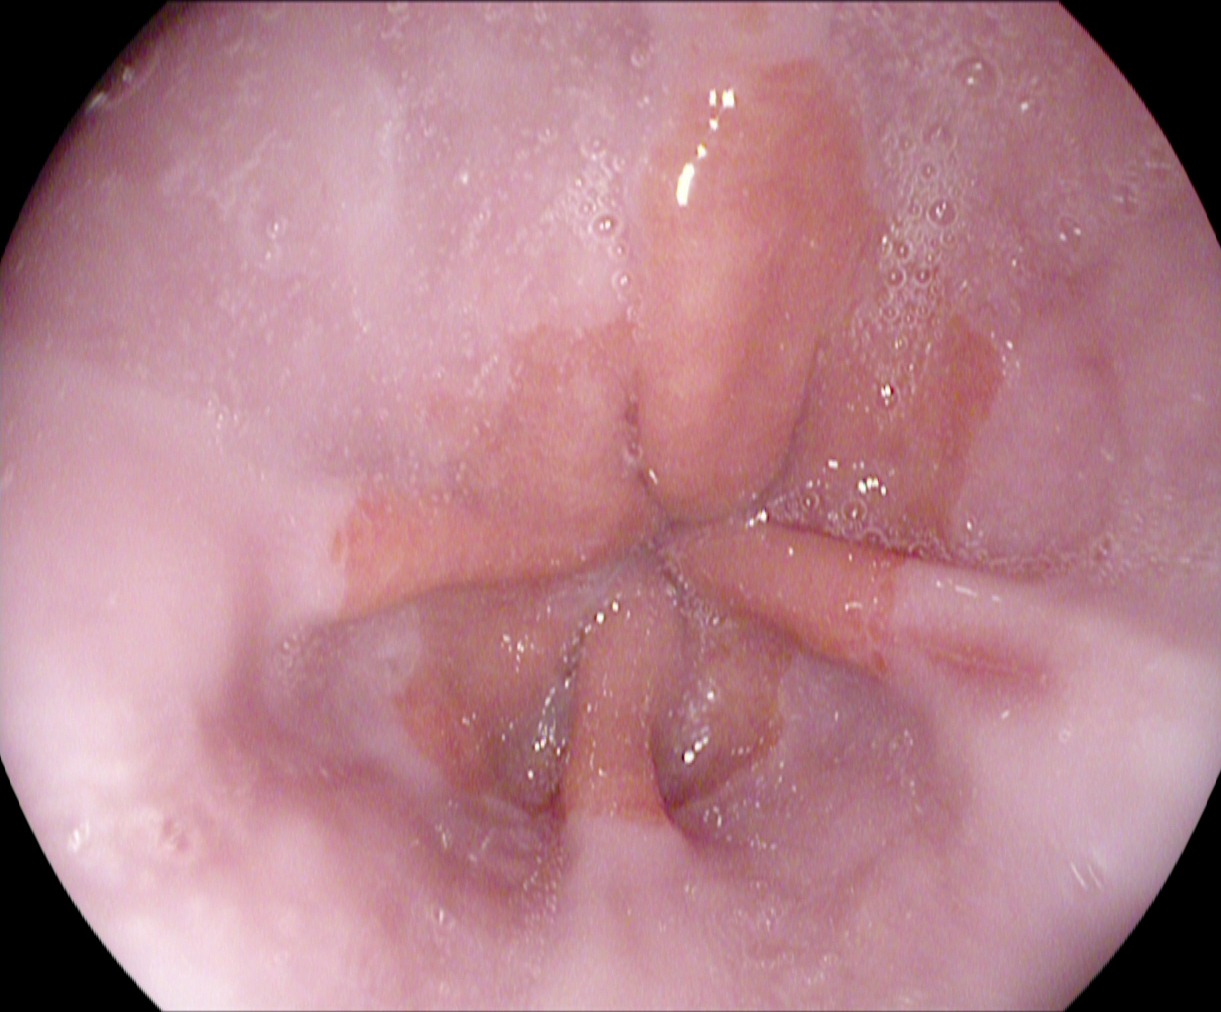reflux esophagitis, LA grade A.